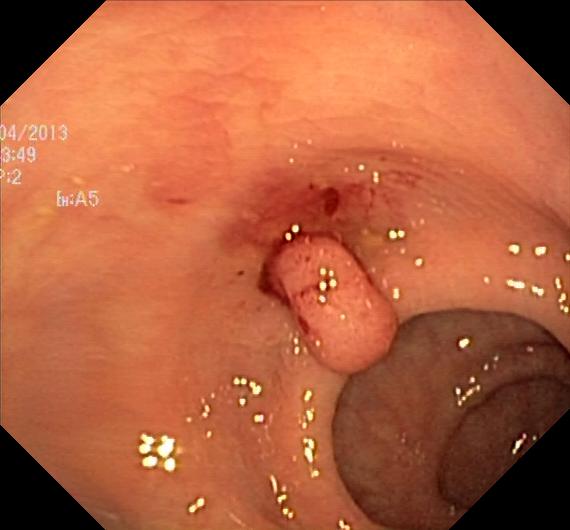This endoscopic image of the lower GI tract shows colorectal polyp(s).